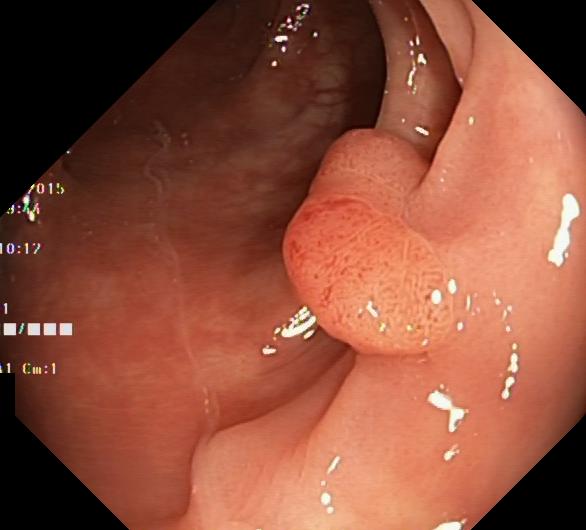{"modality": "lower gastrointestinal endoscopy", "tract": "lower GI tract", "category": "pathological finding", "finding": "colorectal polyp(s)"}